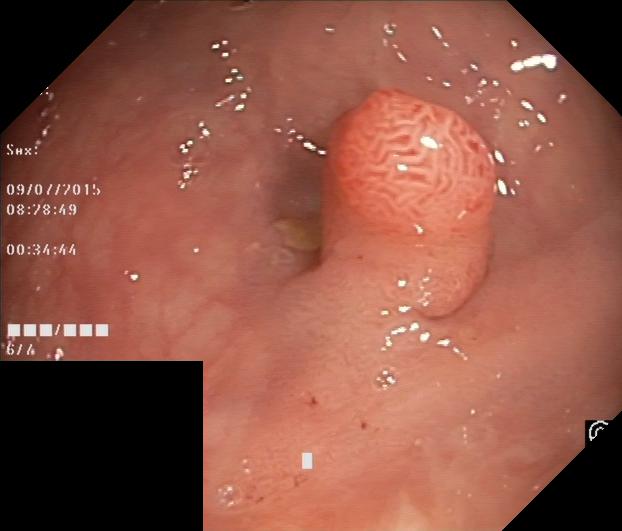PROCEDURE: Lower-GI endoscopy.
FINDINGS: Colorectal polyp(s).